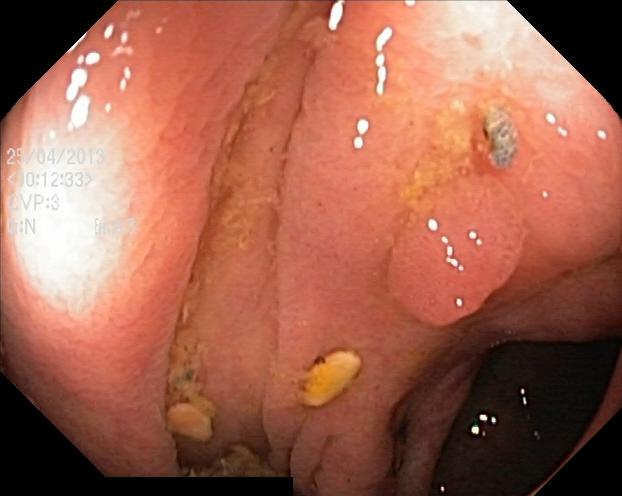Lower gastrointestinal endoscopy. Pathological finding. Finding: colorectal polyp(s).